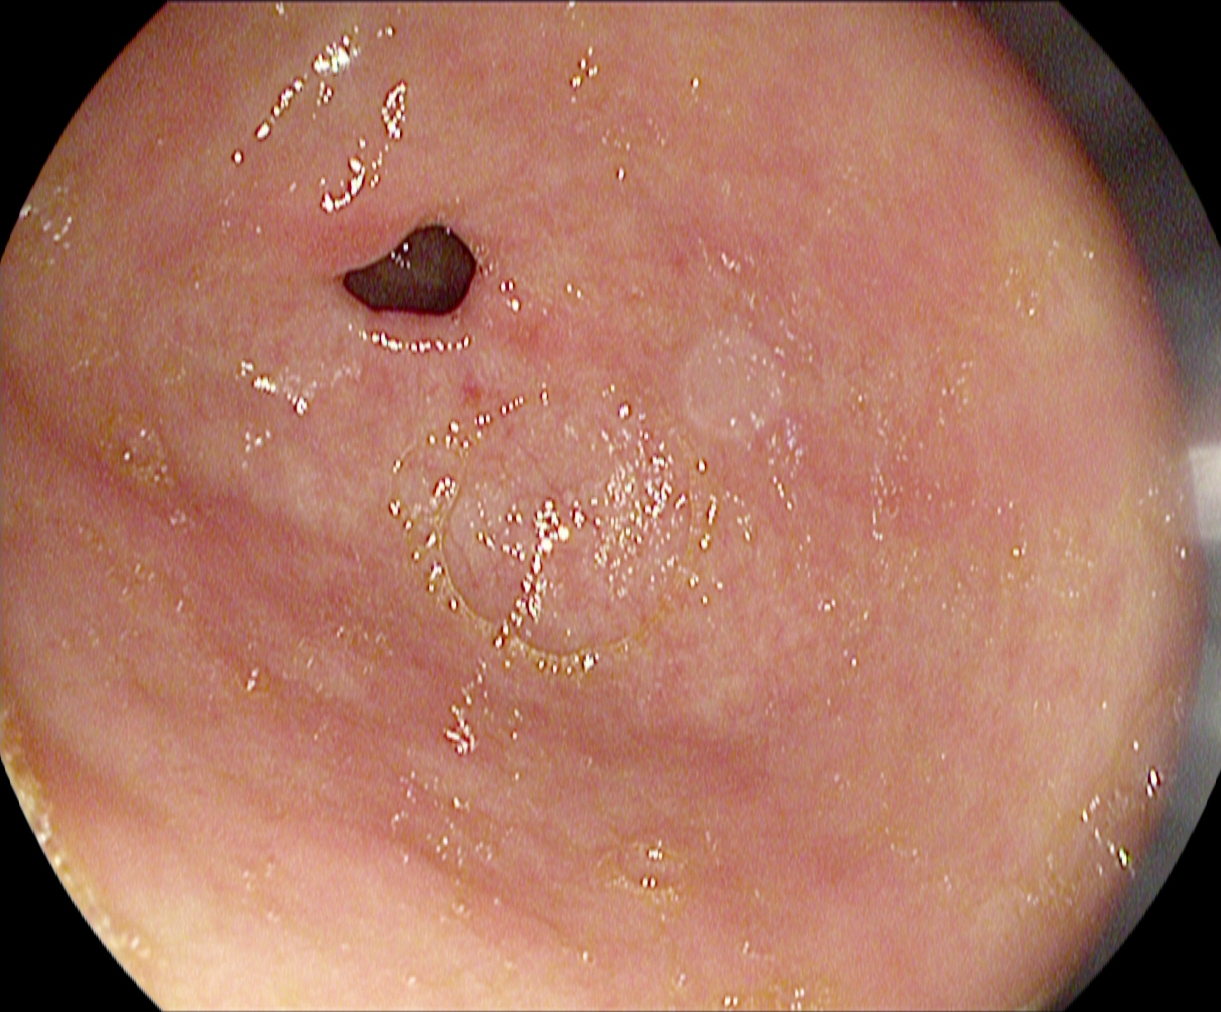{"modality": "upper-GI endoscopy", "finding": "pylorus"}